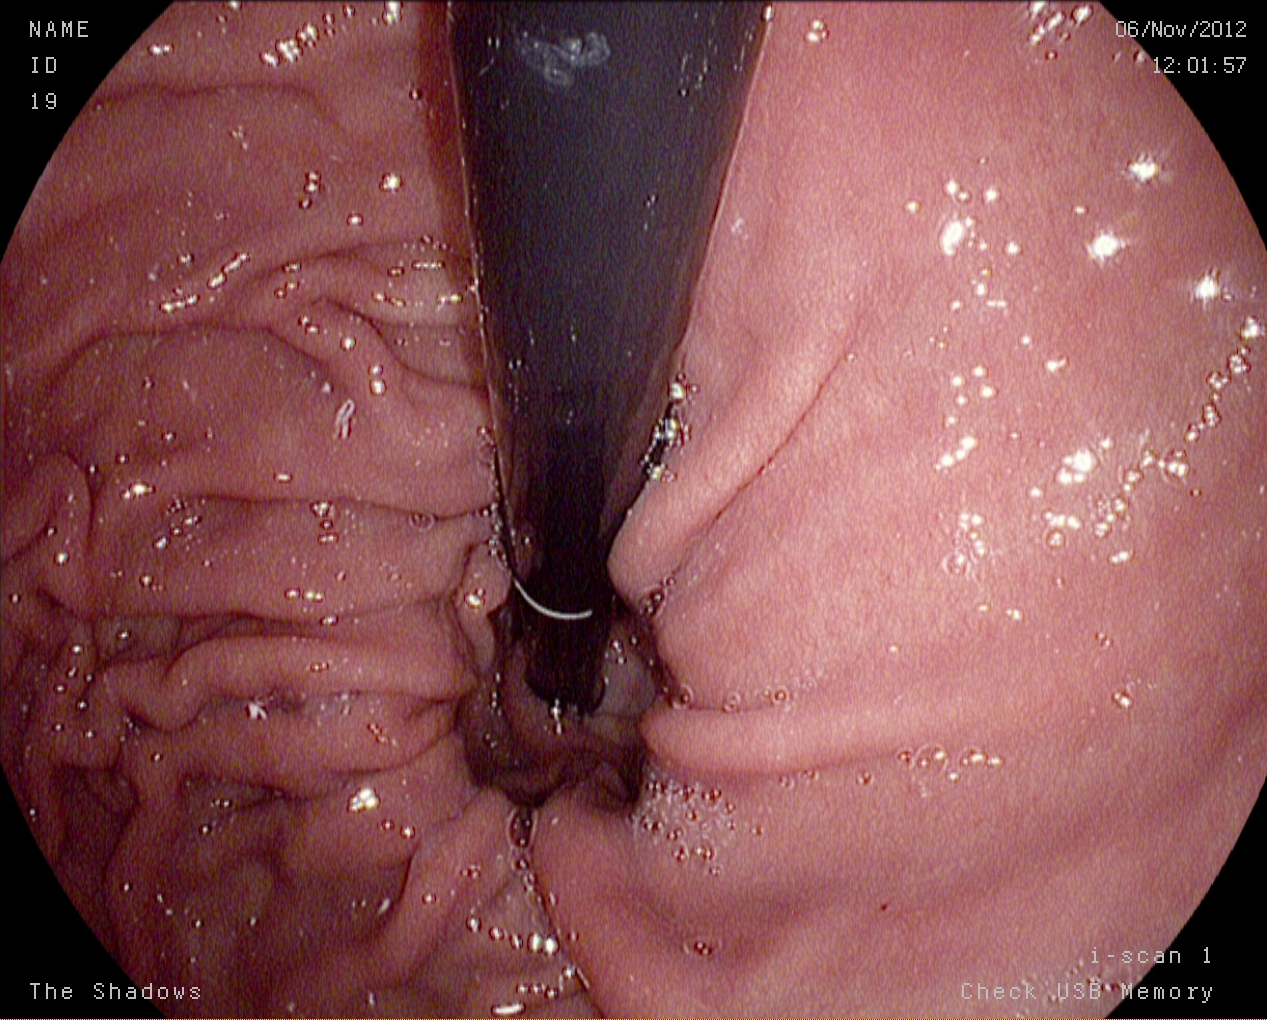EGD. Tract: upper GI tract. Finding: stomach in retroflexion.